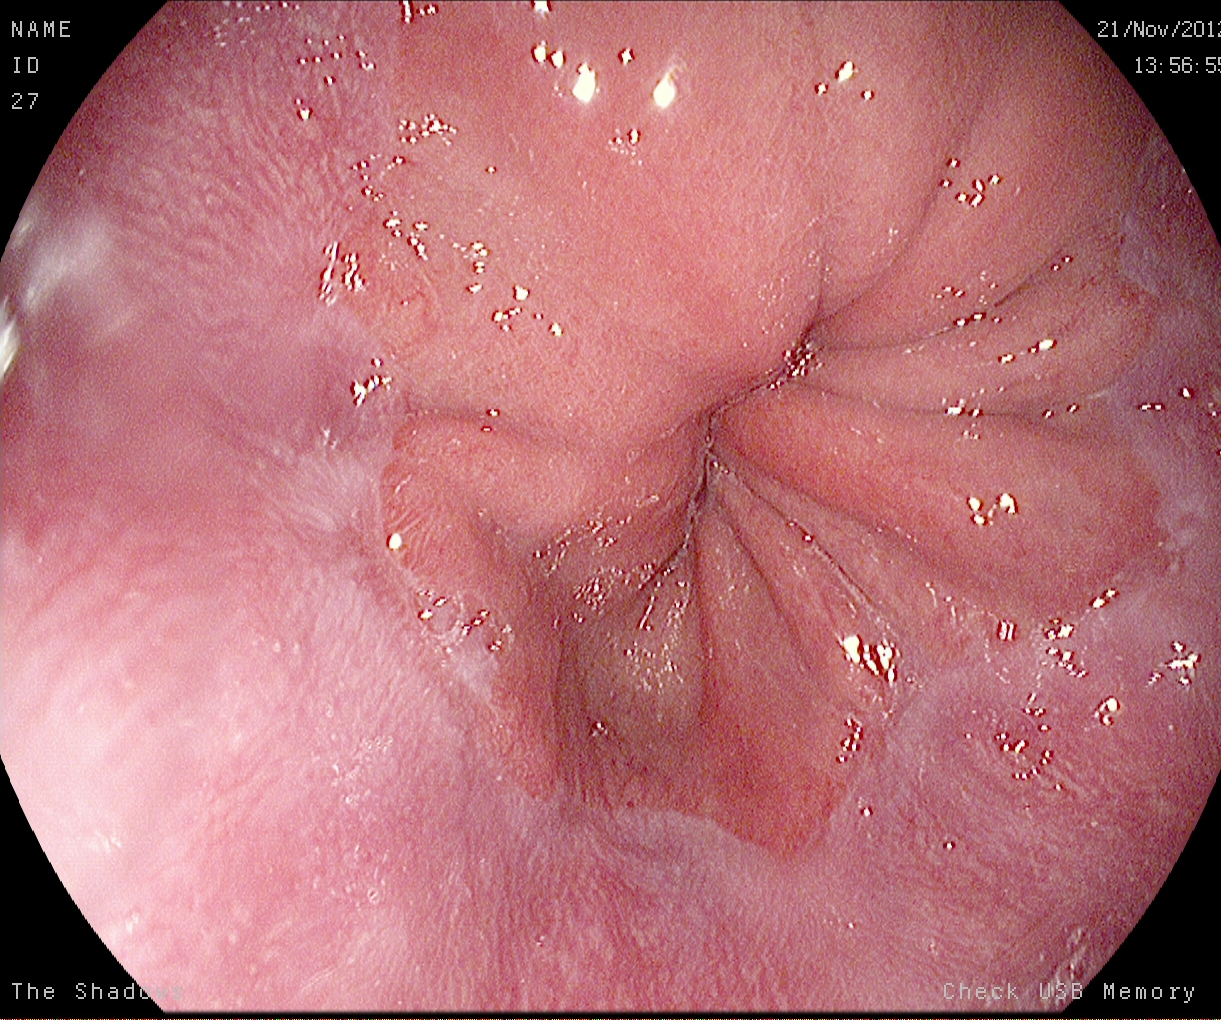Gastroscopy. Finding: Z-line (gastroesophageal junction).